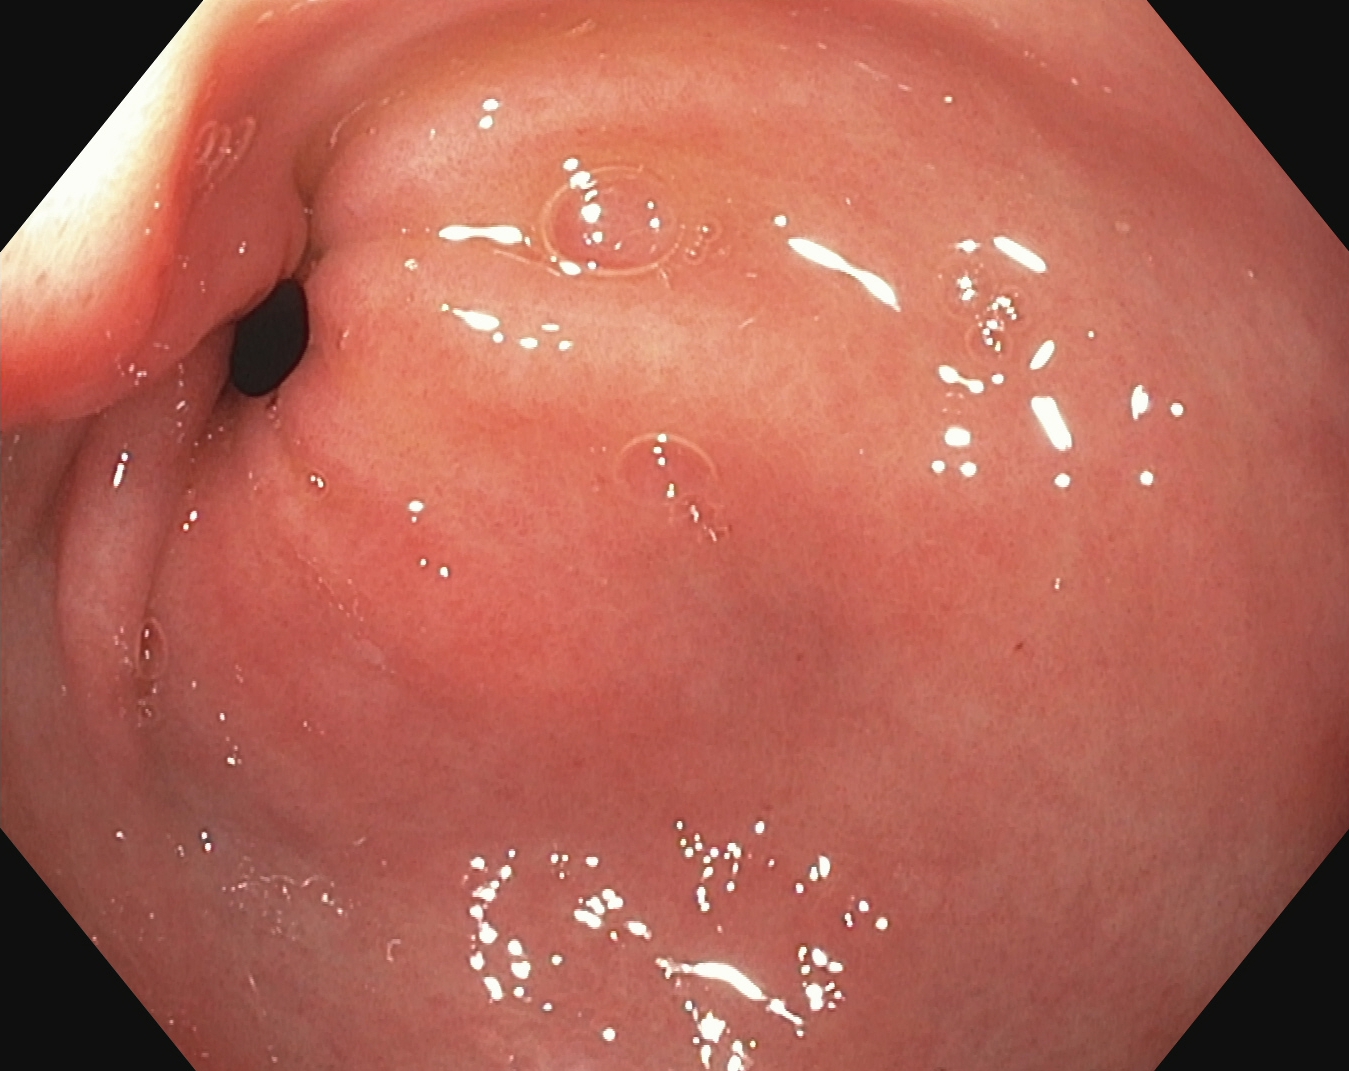PROCEDURE: EGD.
FINDINGS: Pylorus.